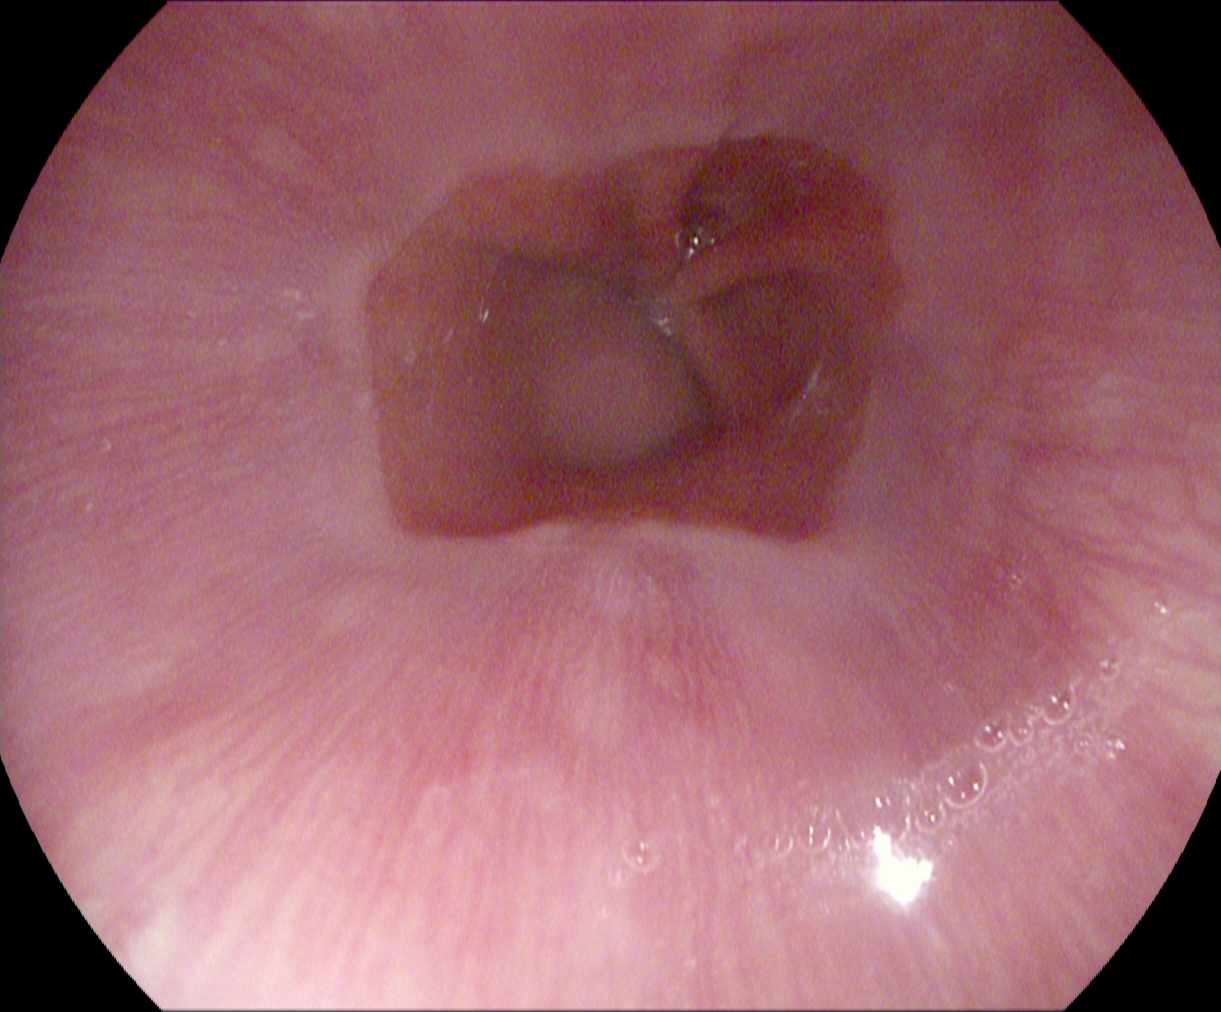This endoscopy frame of the upper GI tract shows Z-line (gastroesophageal junction).